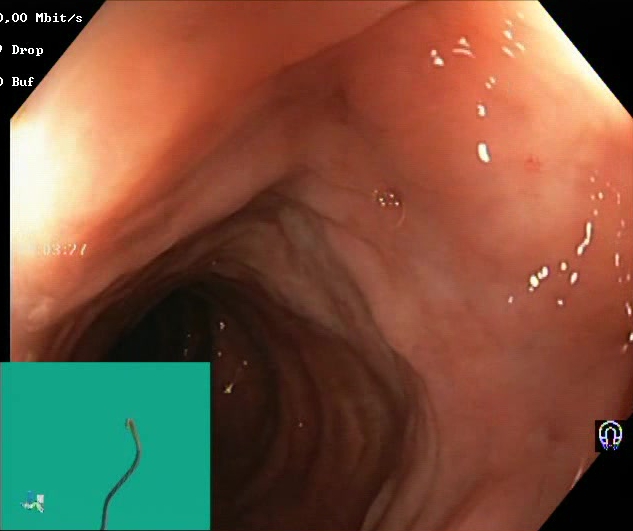{"modality": "lower gastrointestinal endoscopy", "tract": "lower GI tract", "finding": "BBPS score 2\u20133 (adequate preparation)"}